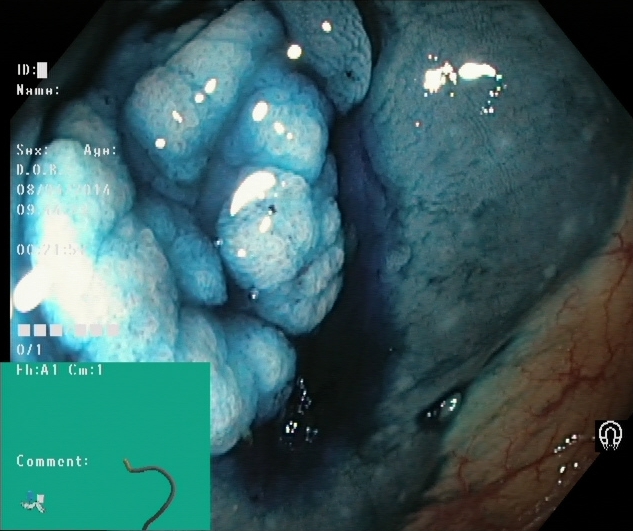Colonoscopy. Therapeutic intervention. Finding: dyed and lifted polyp (pre-resection).